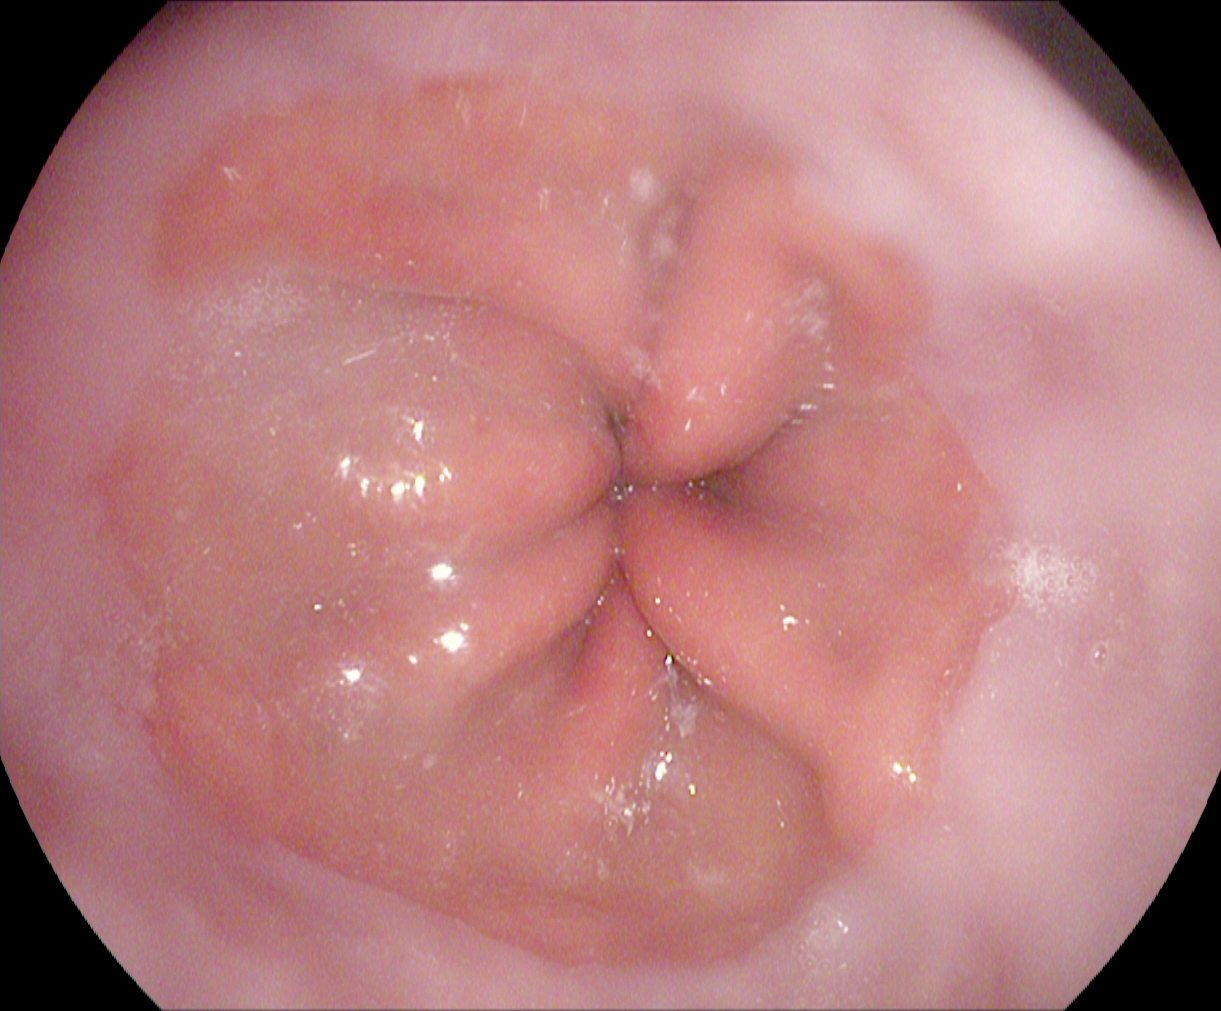Z-line (gastroesophageal junction).